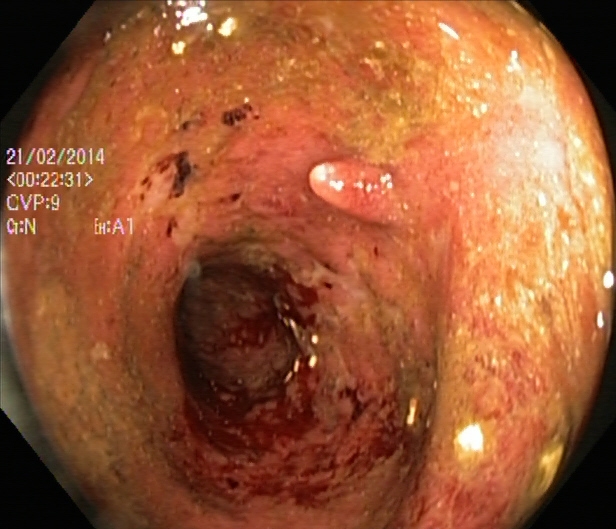{"modality": "lower-GI endoscopy", "tract": "lower GI tract", "finding": "colorectal polyp(s)"}